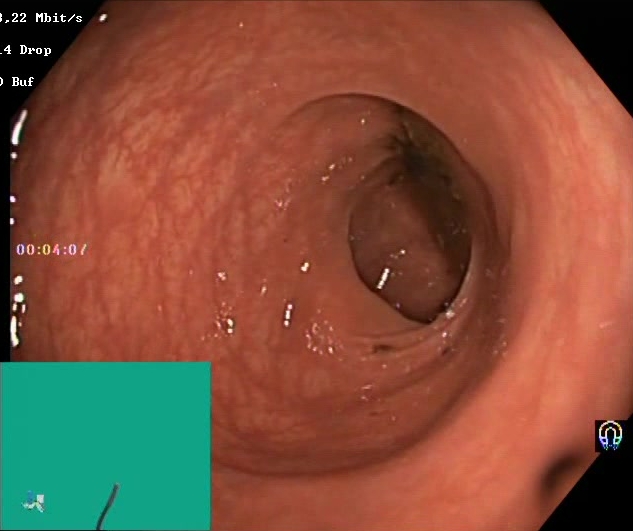PROCEDURE: Colonoscopy.
FINDINGS: BBPS score 0–1 (inadequate preparation).